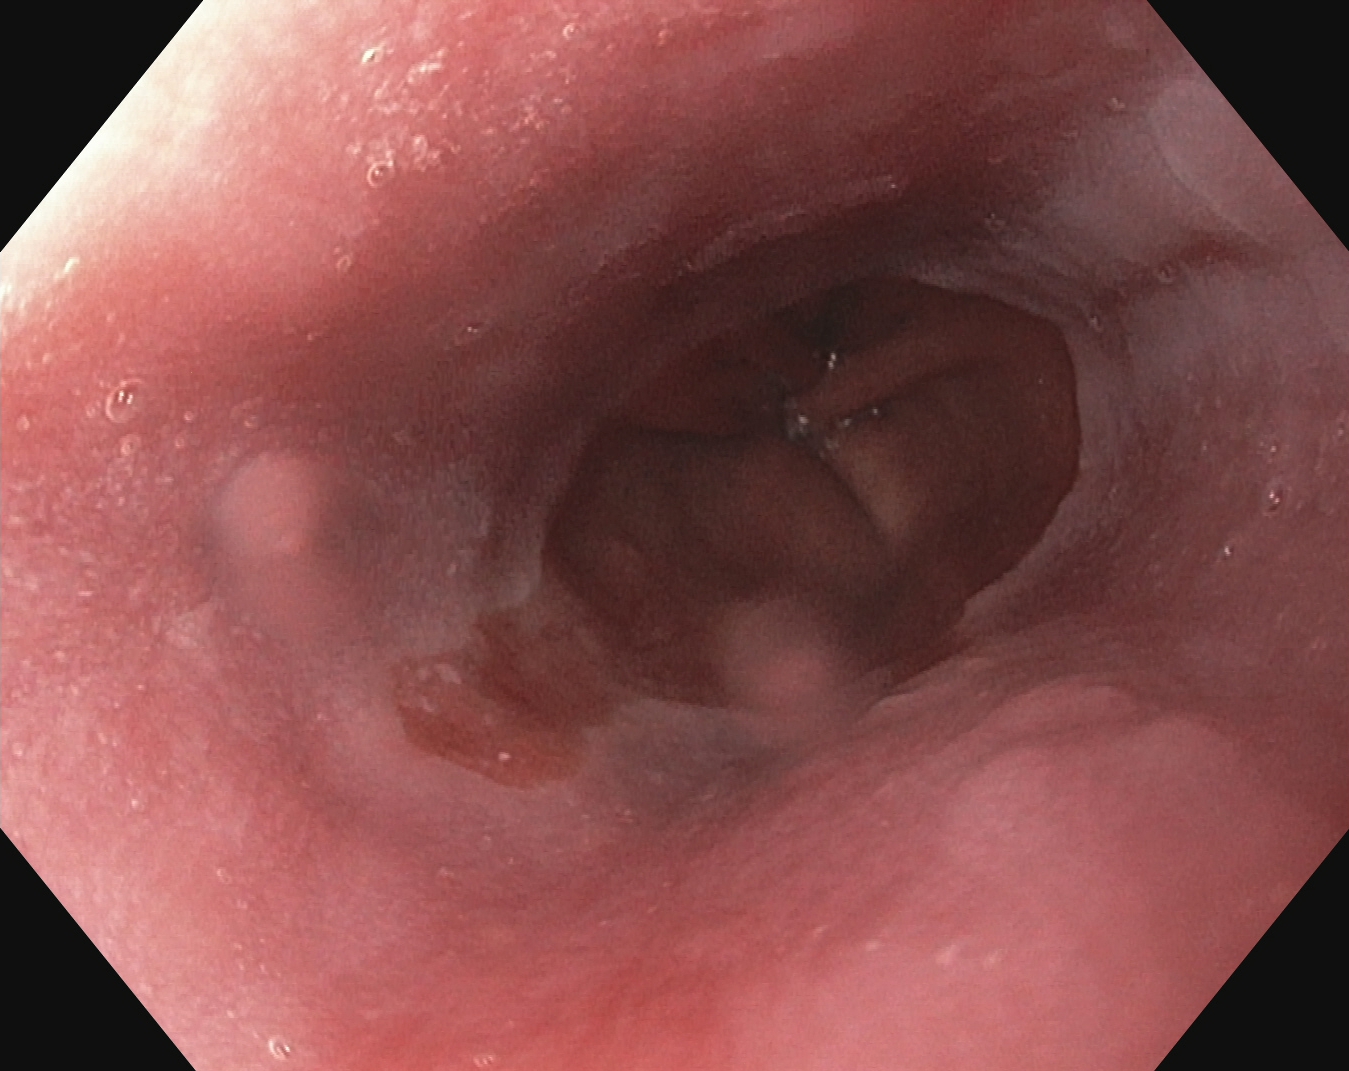PROCEDURE: Gastroscopy.
FINDINGS: Barrett's esophagus.